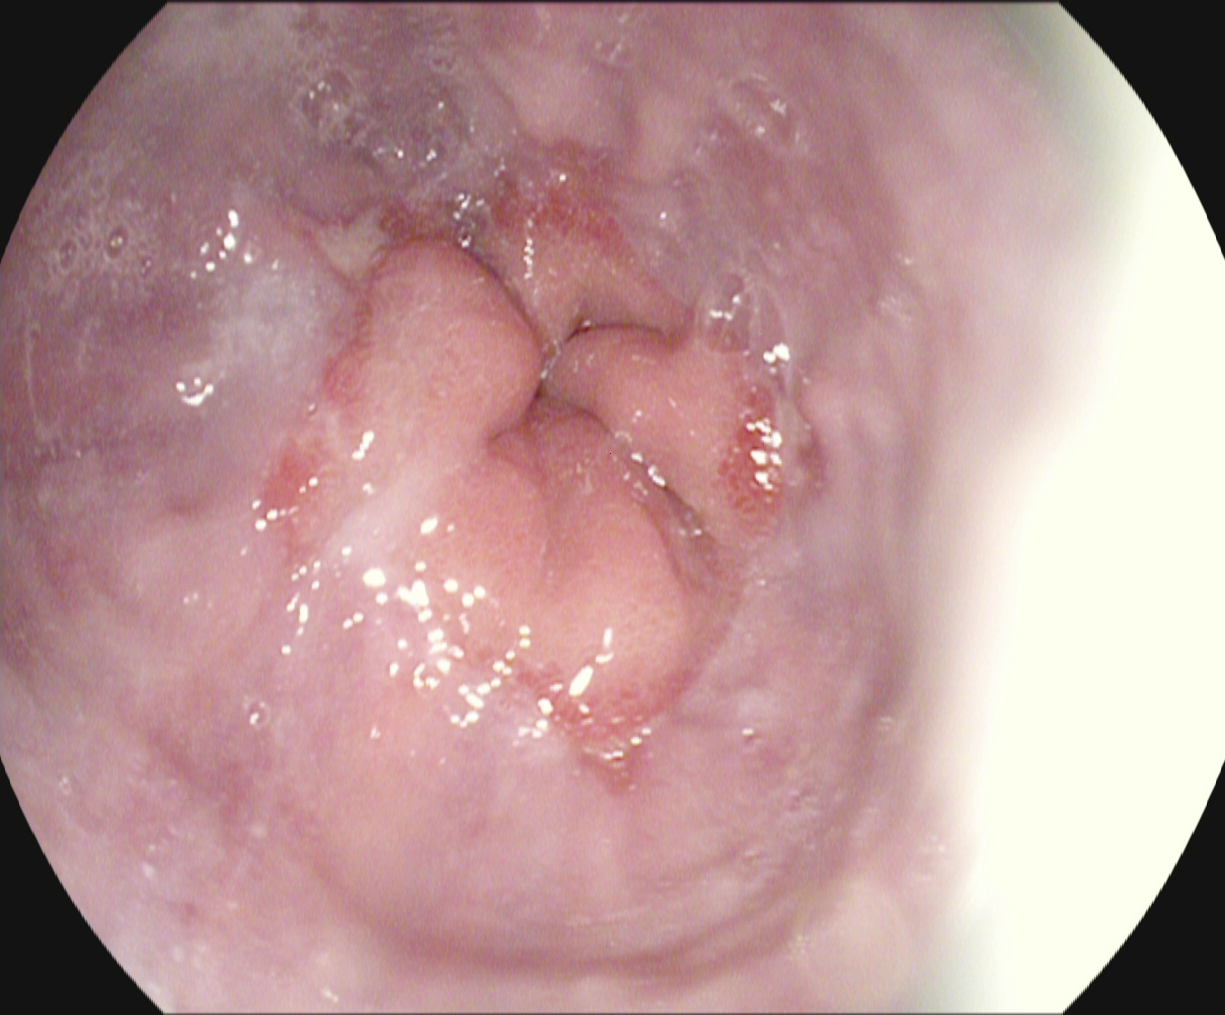modality: gastroscopy
tract: upper GI tract
finding: reflux esophagitis, Los Angeles grade A